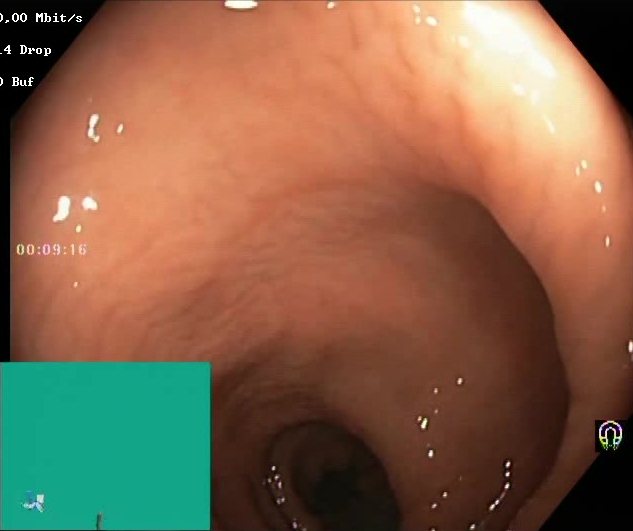modality: lower-GI endoscopy; finding: Boston Bowel Preparation Scale score 2–3 (adequate preparation)